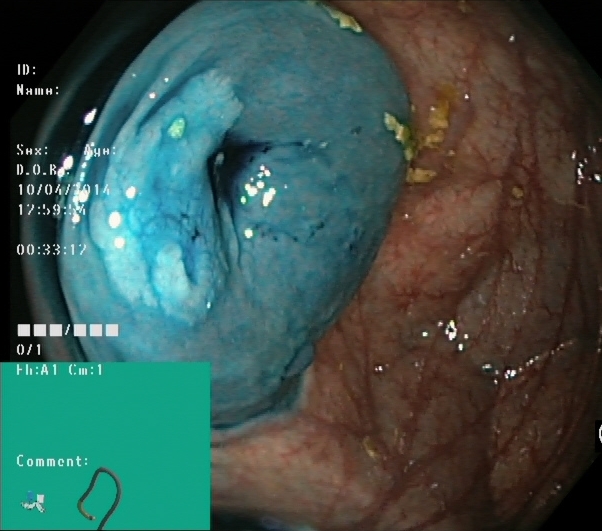PROCEDURE: Colonoscopy.
FINDINGS: Dyed resection margins (post-polypectomy).